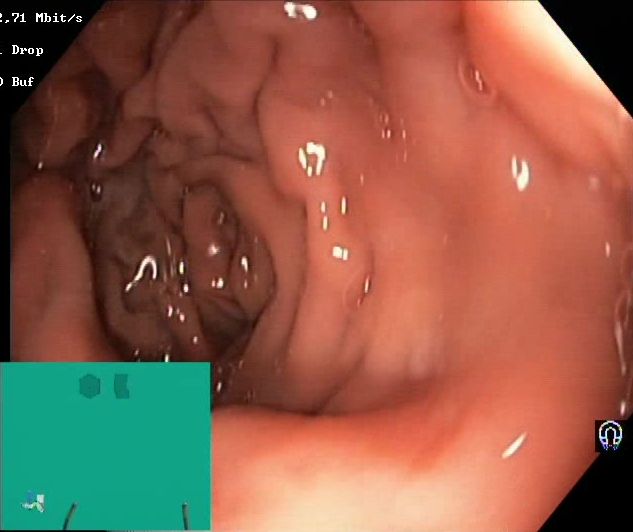This endoscopic image of the lower GI tract shows BBPS score 2–3 (adequate preparation).